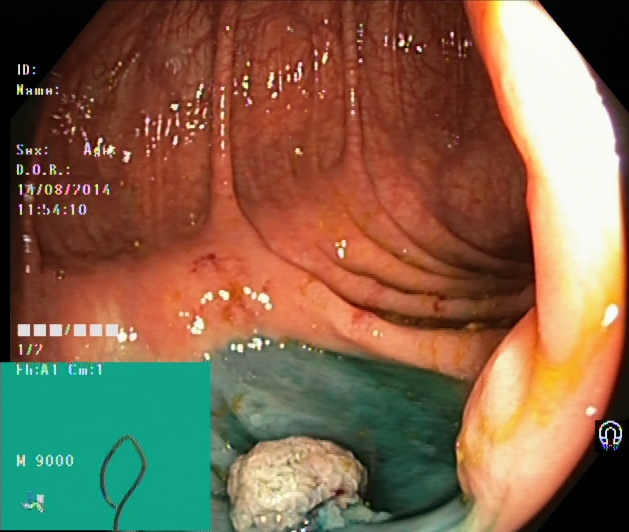PROCEDURE: Colonoscopy.
CATEGORY: Therapeutic intervention.
FINDINGS: Dyed and lifted polyp (pre-resection).